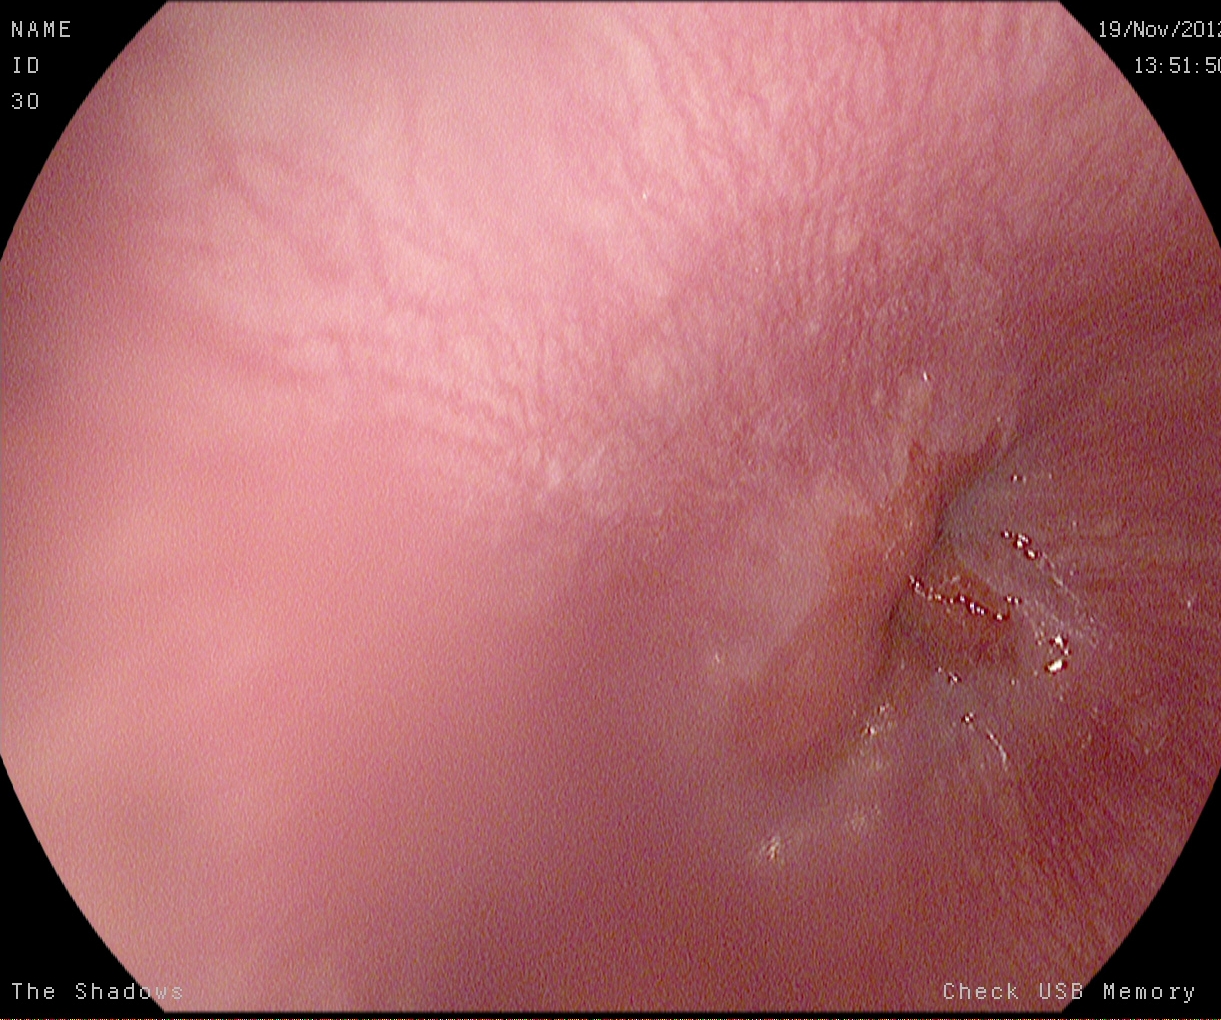{"modality": "EGD", "category": "anatomical landmark", "finding": "Z-line (gastroesophageal junction)"}